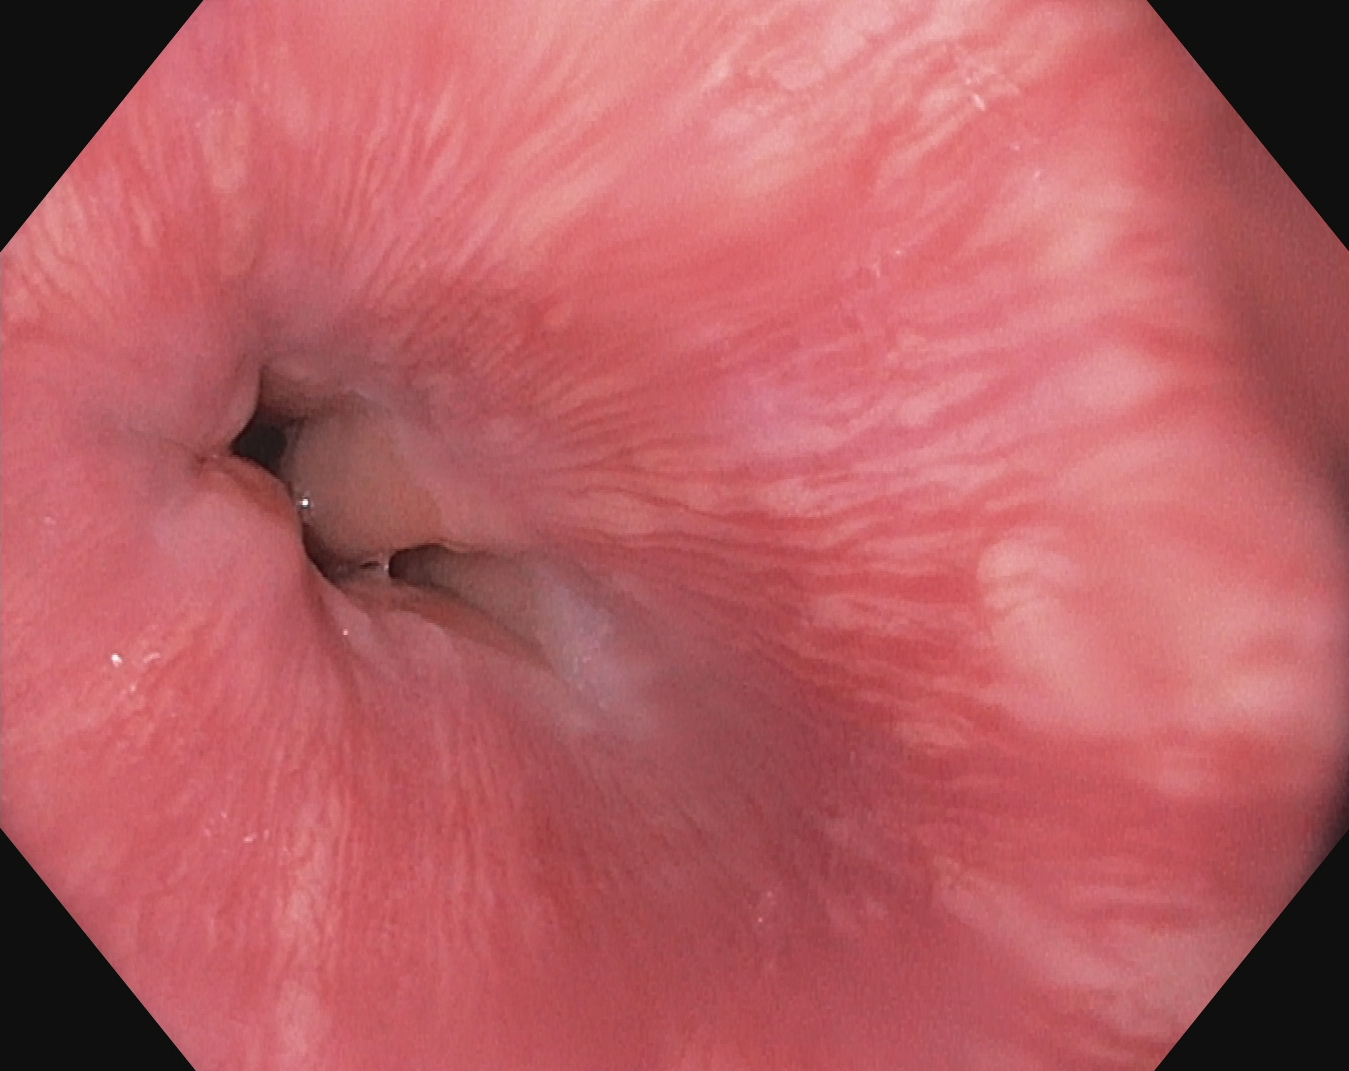PROCEDURE: Esophagogastroduodenoscopy.
FINDINGS: Z-line (gastroesophageal junction).